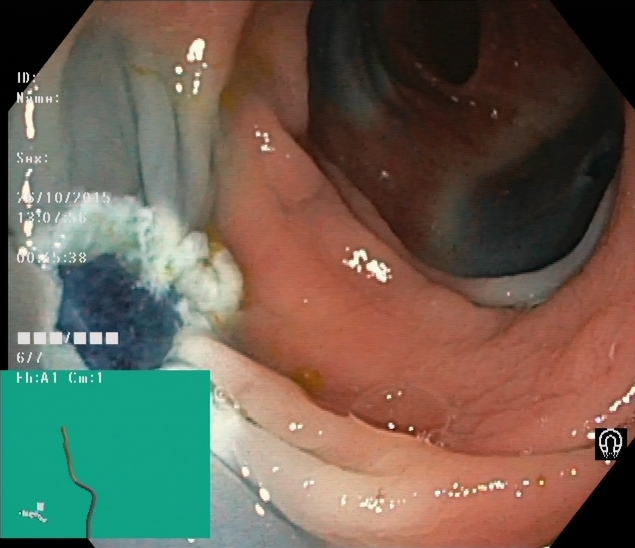Lower gastrointestinal endoscopy. Tract: lower GI tract. Finding: dyed resection margins (post-polypectomy).